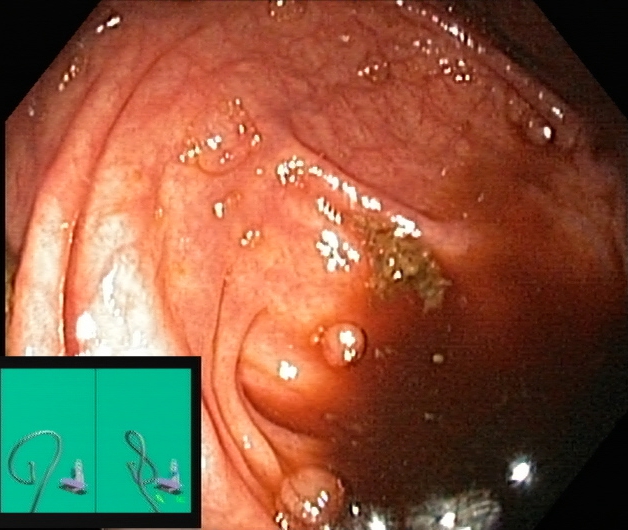This endoscopy frame of the lower GI tract shows cecum.